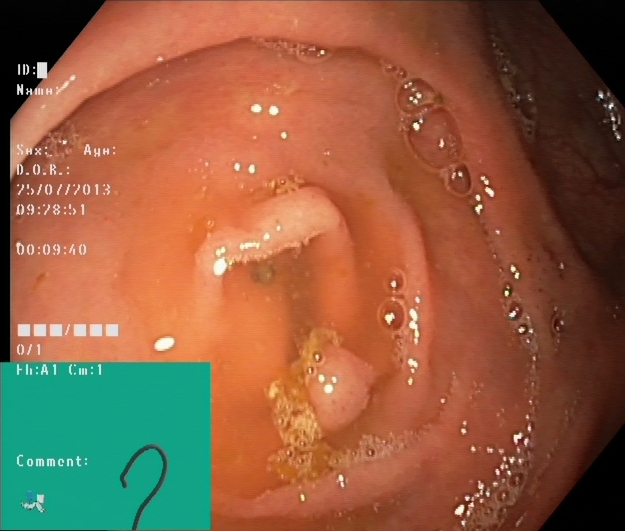Endoscopy image showing cecum.